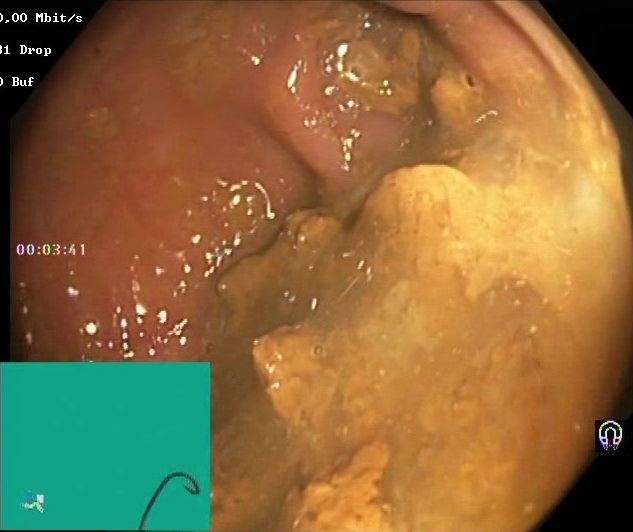Lower gastrointestinal endoscopy. Mucosal-view quality. Finding: BBPS score 0–1 (inadequate preparation).